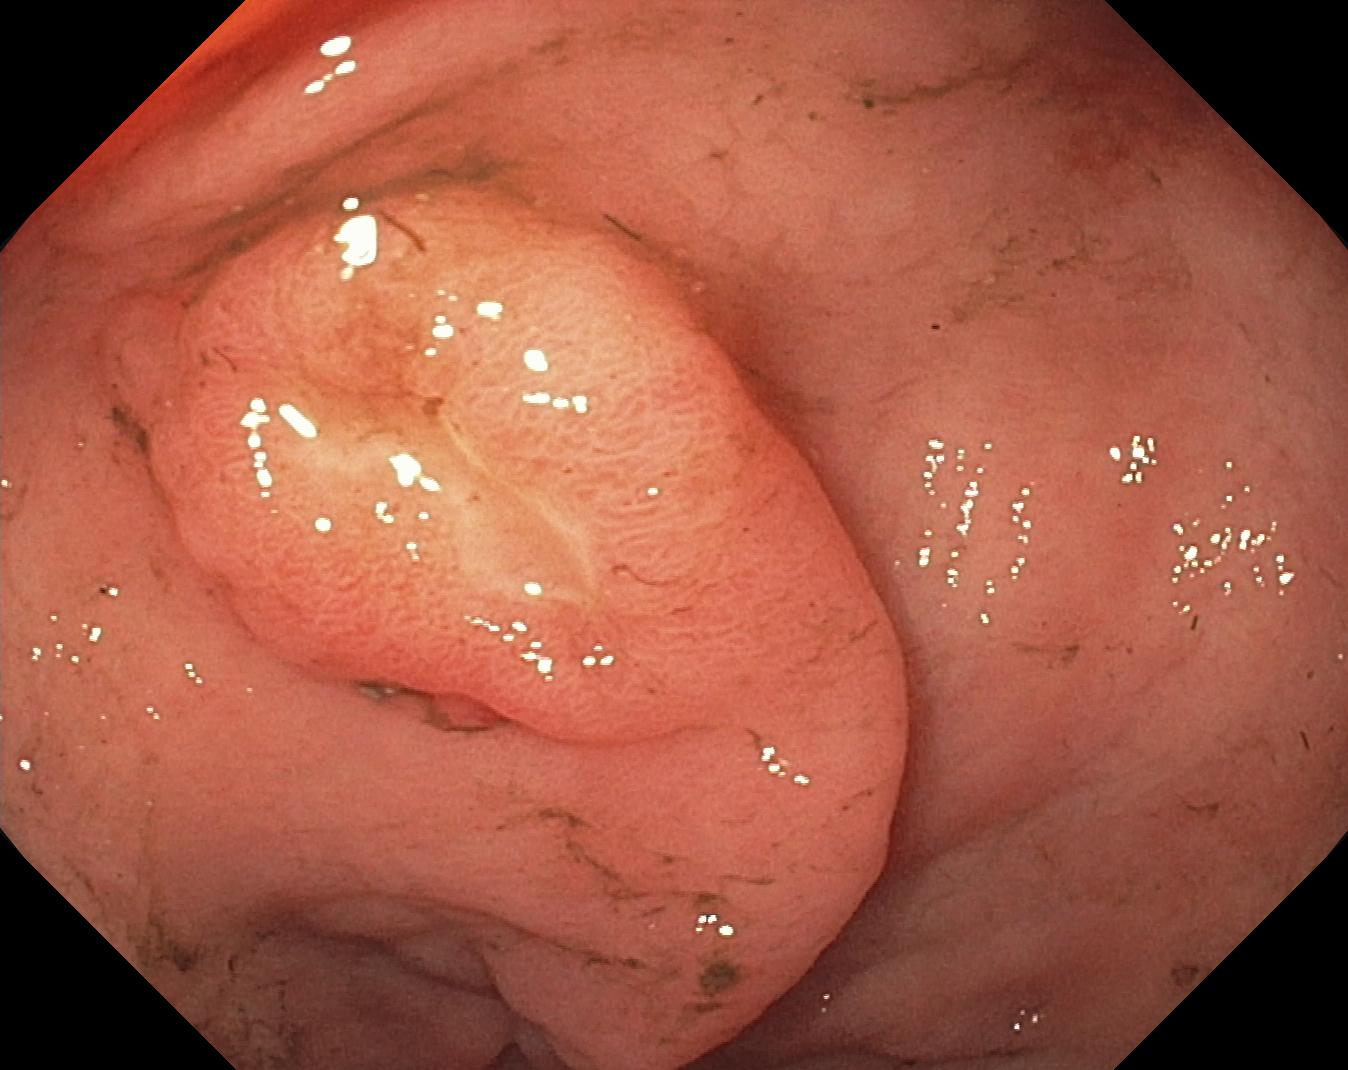Colonoscopy. Tract: lower GI tract. Finding: colorectal polyp(s).